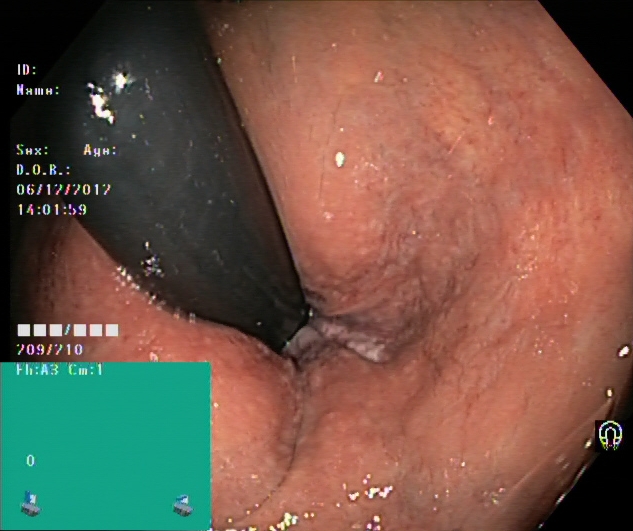Rectum in retroflexion.